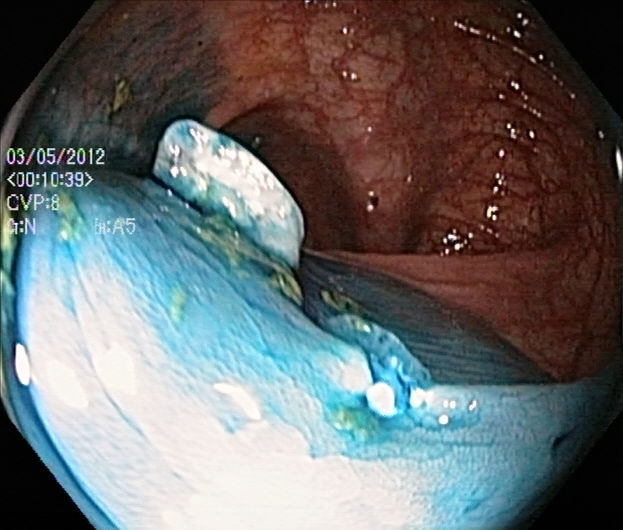{"modality": "lower gastrointestinal endoscopy", "finding": "dyed and lifted polyp (pre-resection)"}